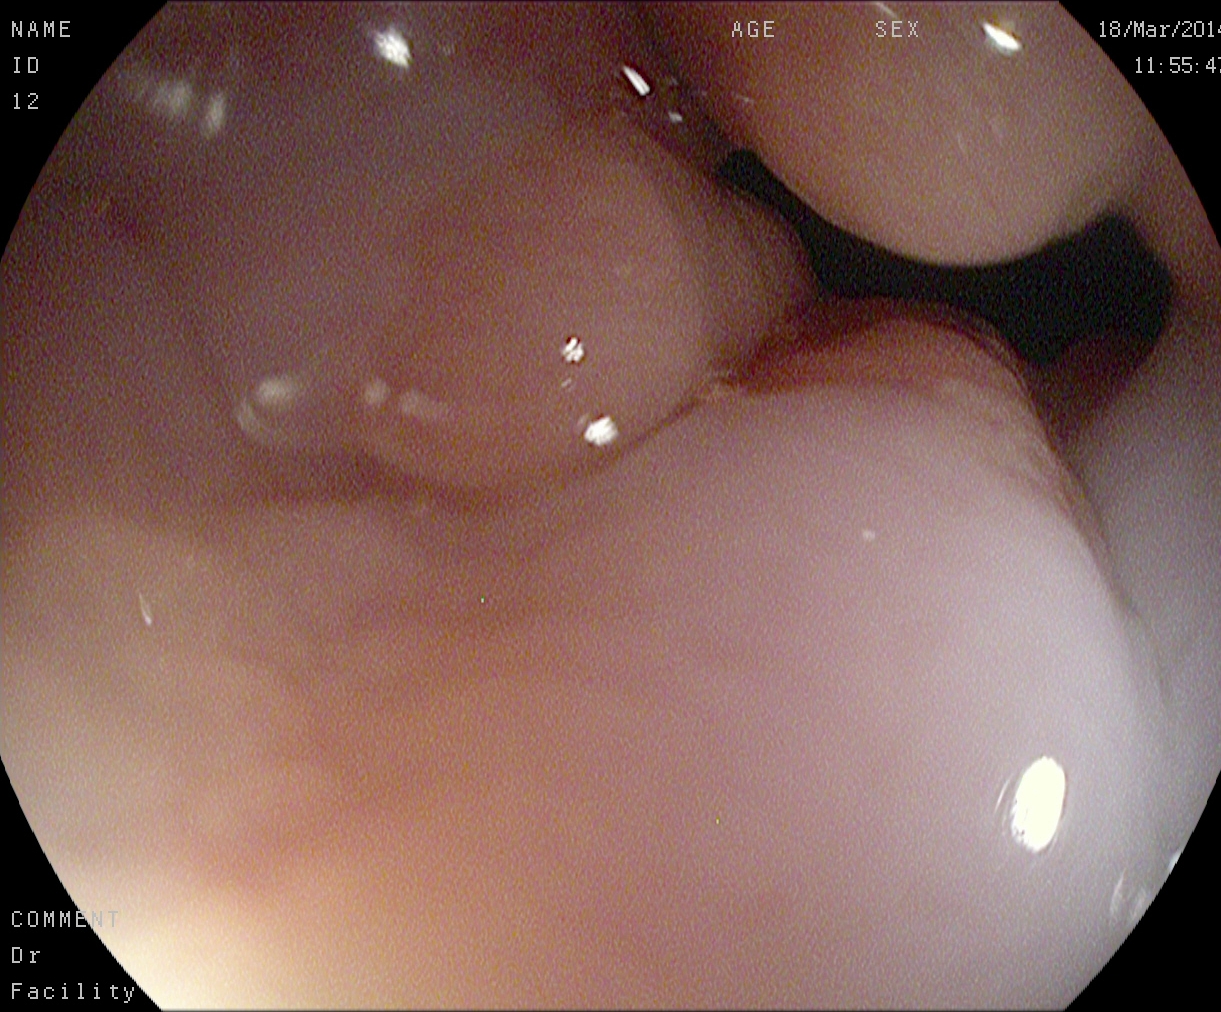Z-line (gastroesophageal junction).